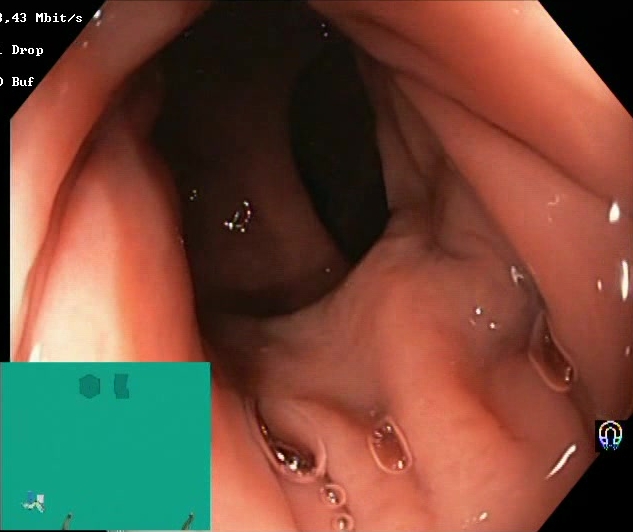Lower gastrointestinal endoscopy. Tract: lower GI tract. Finding: BBPS score 2–3 (adequate preparation).